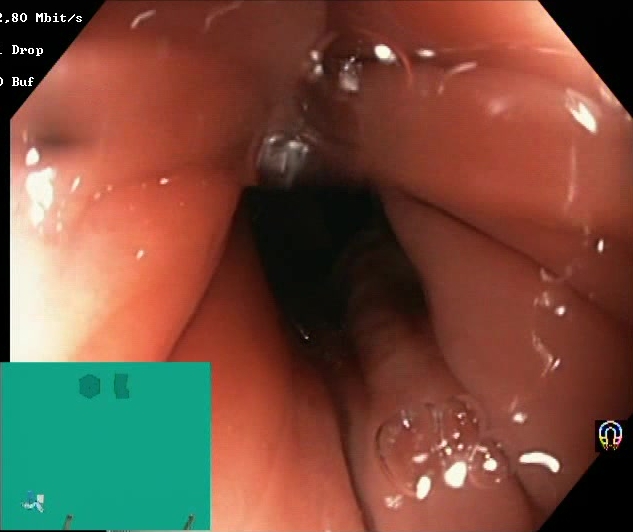PROCEDURE: Colonoscopy.
FINDINGS: Boston Bowel Preparation Scale score 2–3 (adequate preparation).